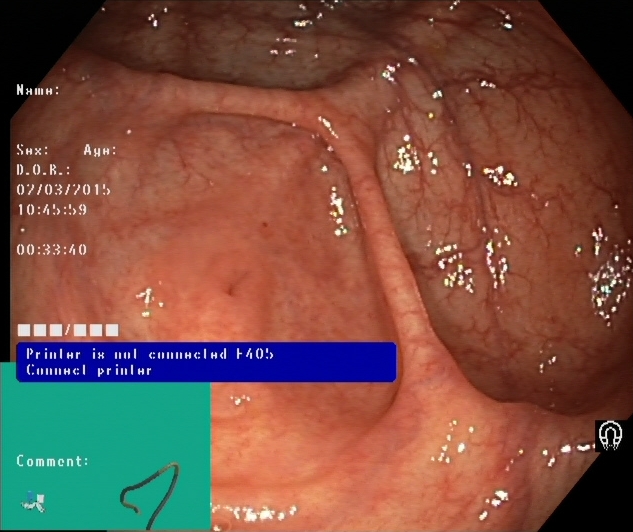{"modality": "lower gastrointestinal endoscopy", "tract": "lower GI tract", "category": "anatomical landmark", "finding": "cecum"}